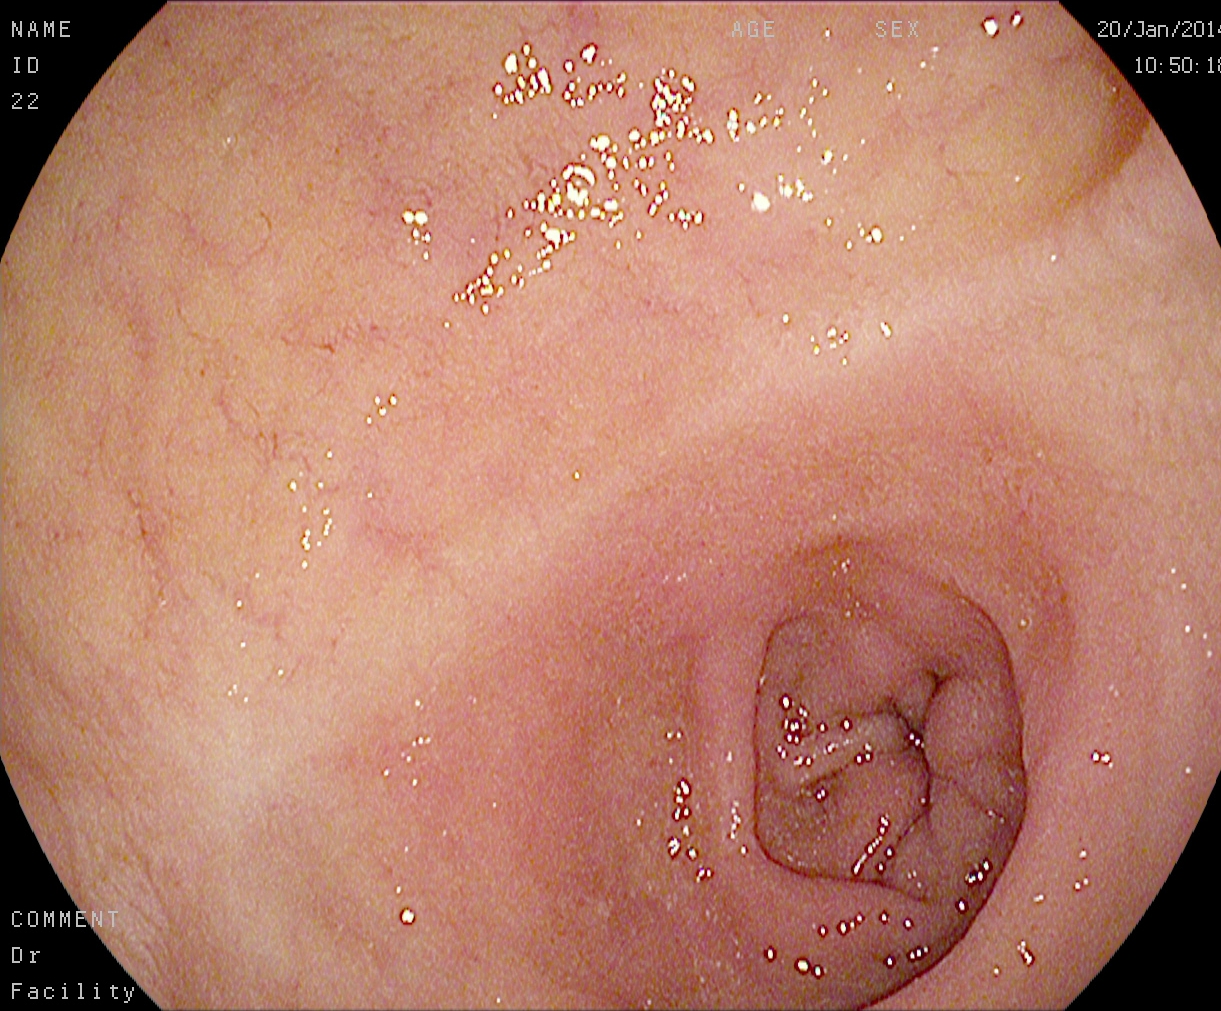{"modality": "gastroscopy", "finding": "pylorus"}